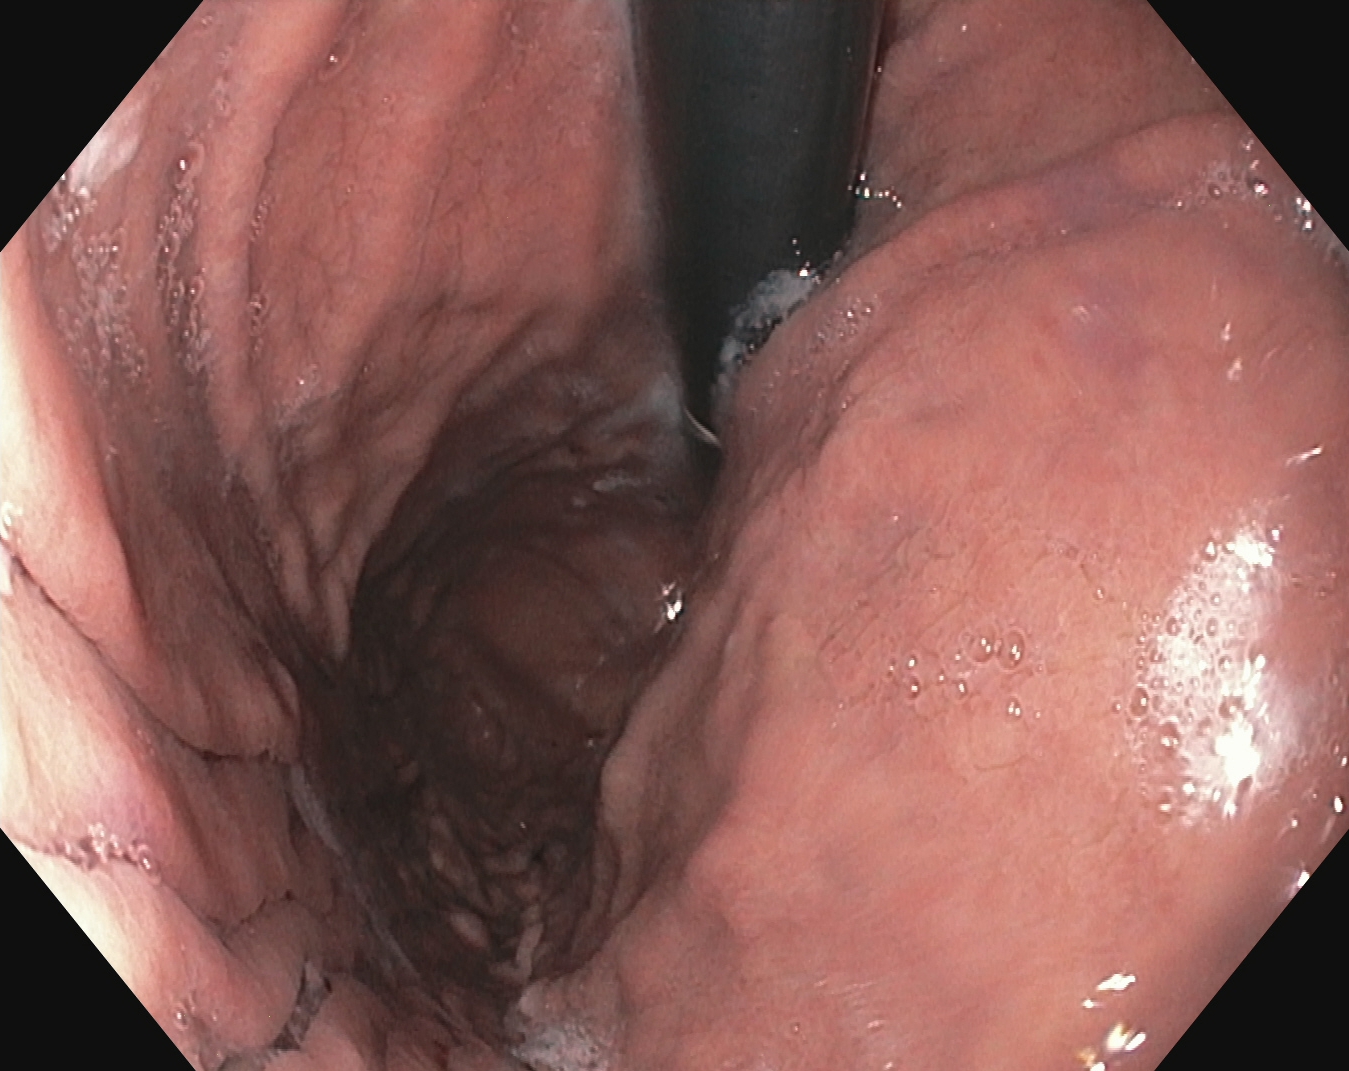modality: upper-GI endoscopy
tract: upper GI tract
finding: stomach in retroflexion